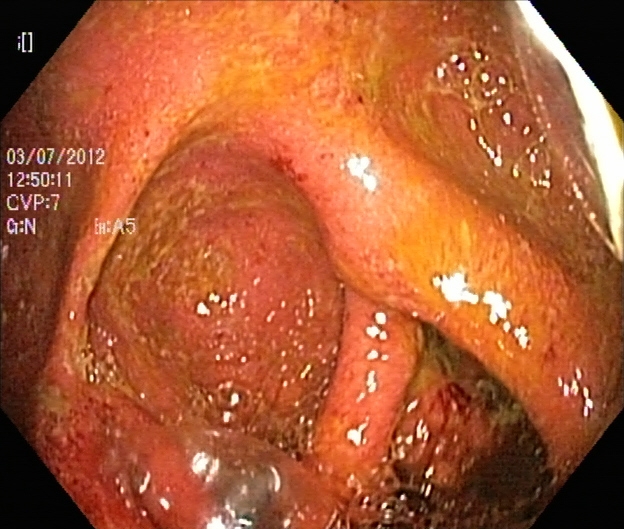Ulcerative colitis, Mayo endoscopic subscore 2.